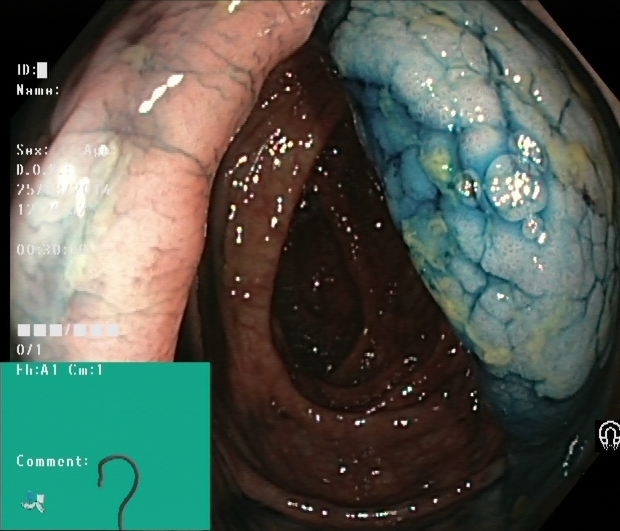Dyed and lifted polyp (pre-resection).